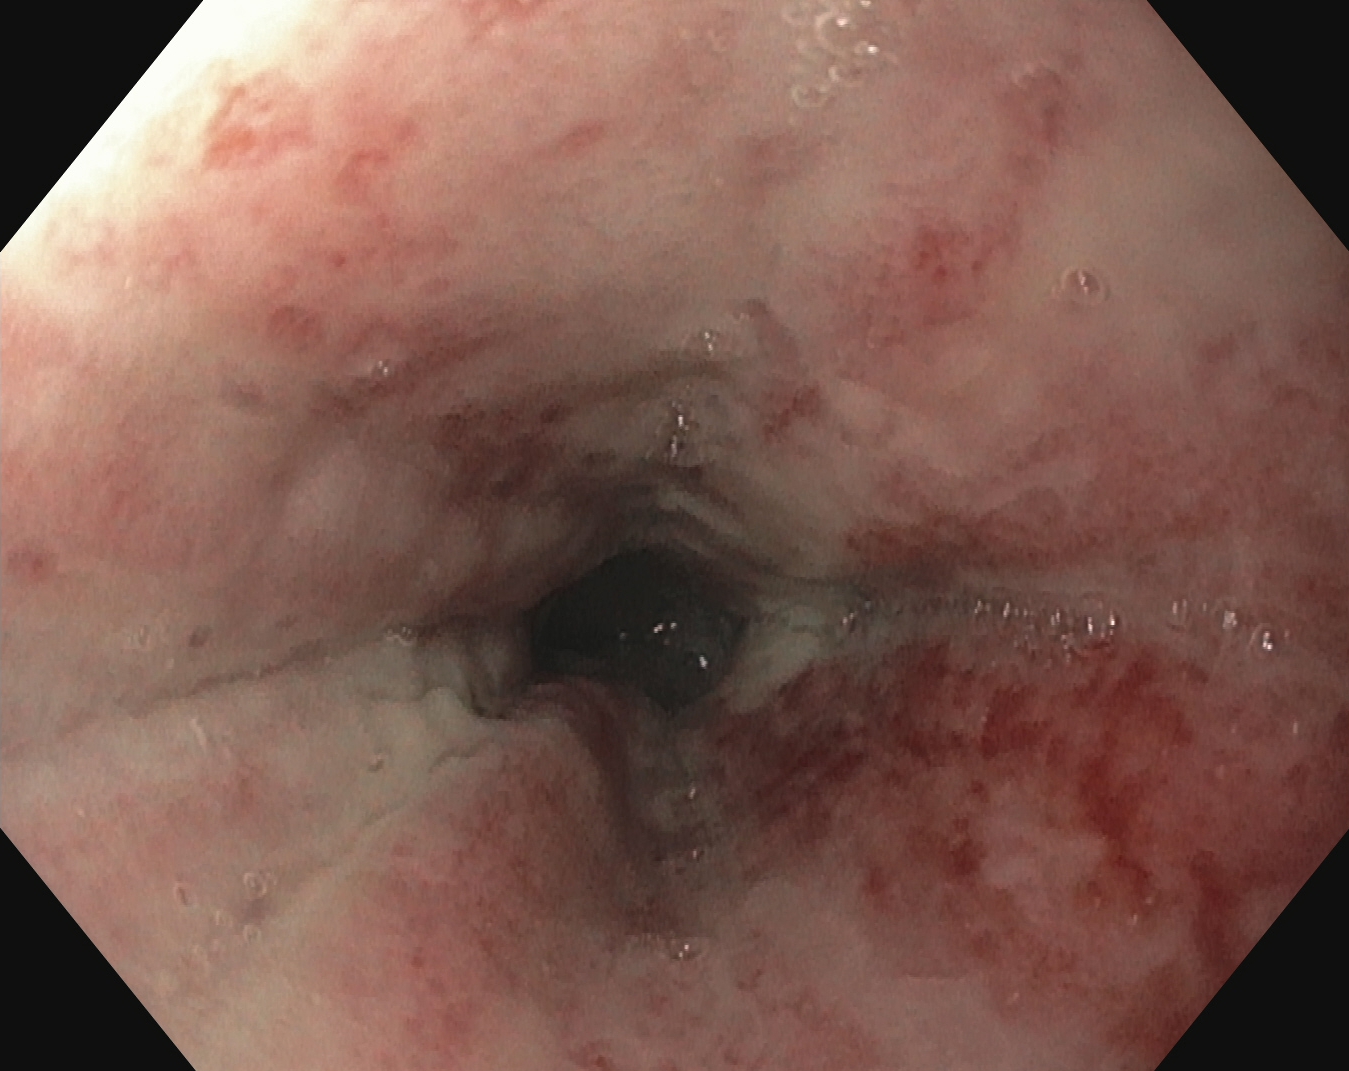EGD — reflux esophagitis, Los Angeles grade B–D.